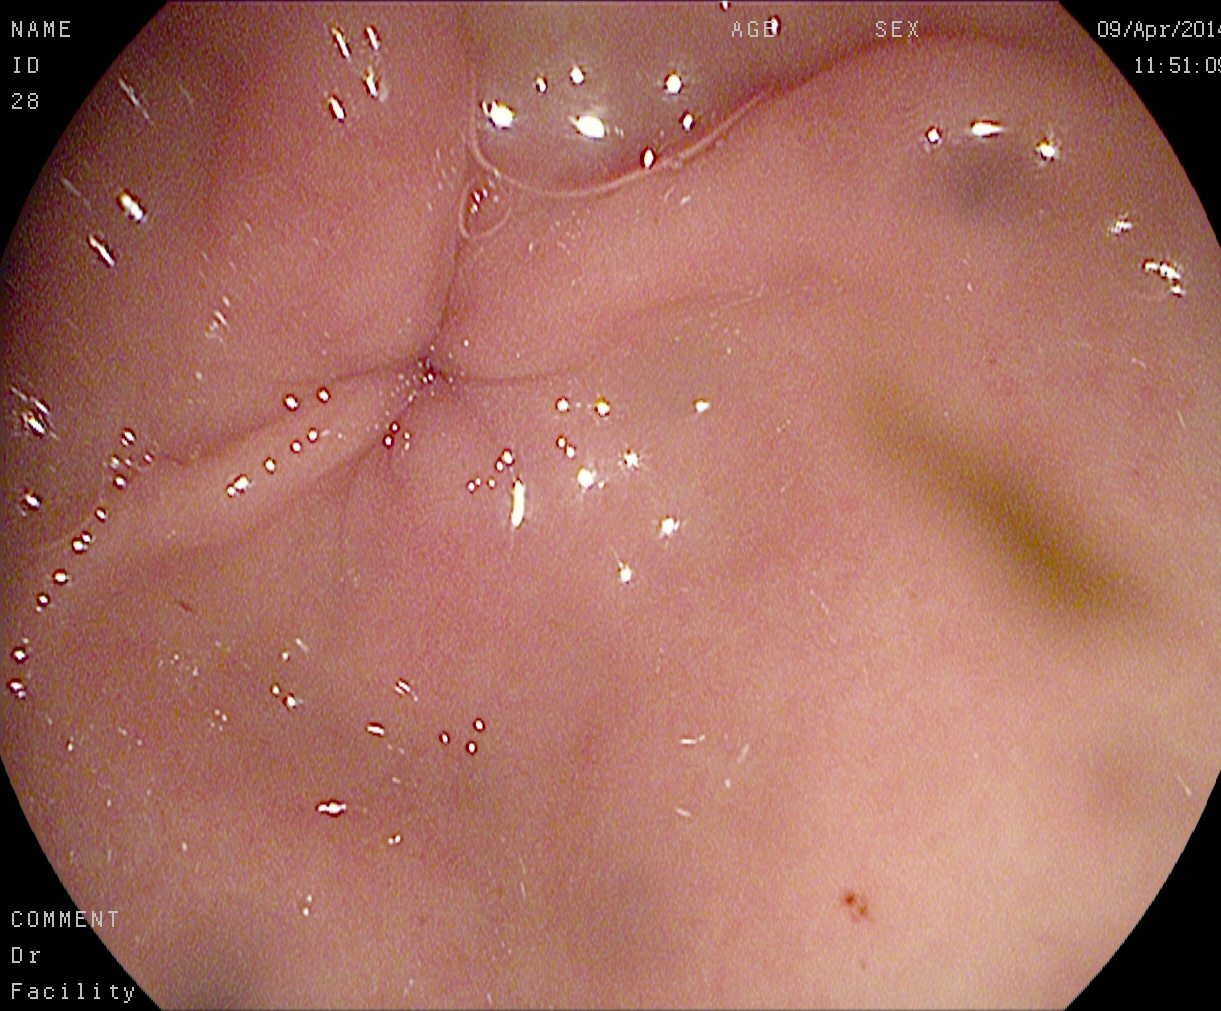{"modality": "gastroscopy", "tract": "upper GI tract", "finding": "pylorus"}